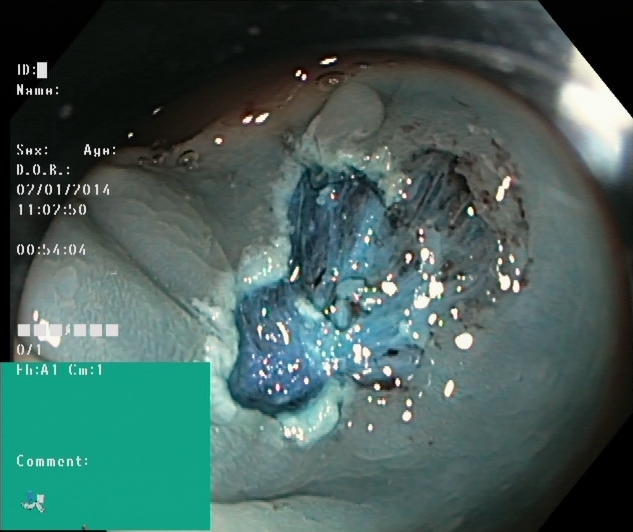This endoscopic image of the lower GI tract shows dyed resection margins (post-polypectomy).